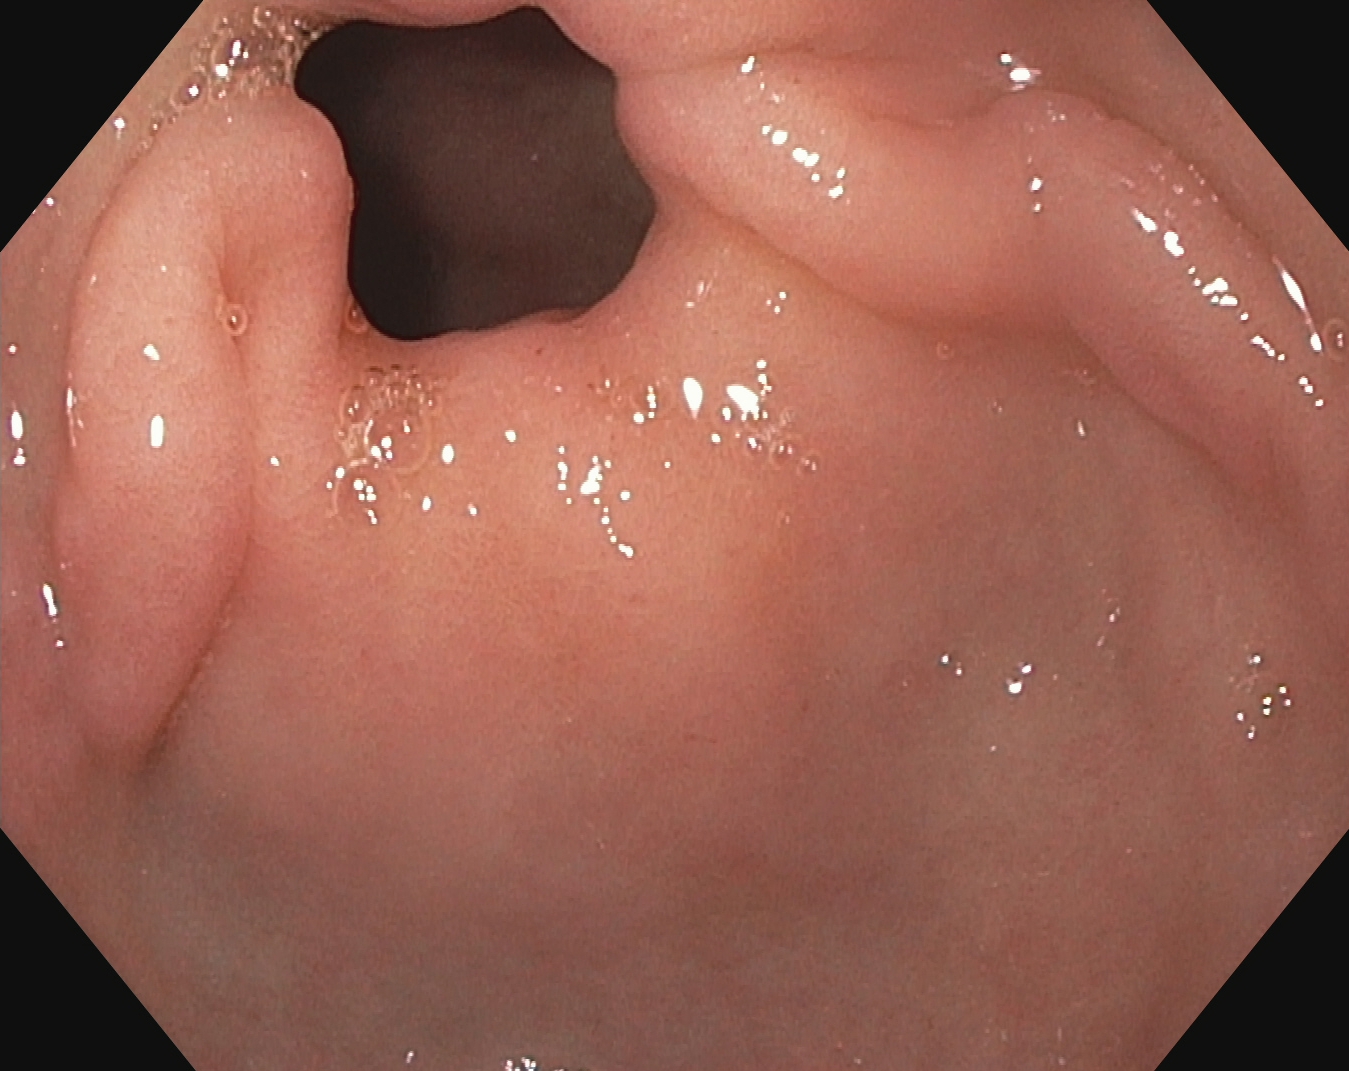This endoscopy frame of the upper GI tract shows pylorus.